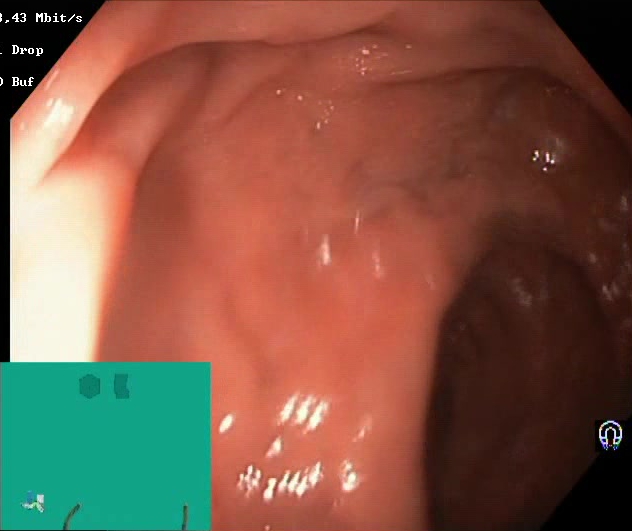Colonoscopy — Boston Bowel Preparation Scale score 2–3 (adequate preparation).